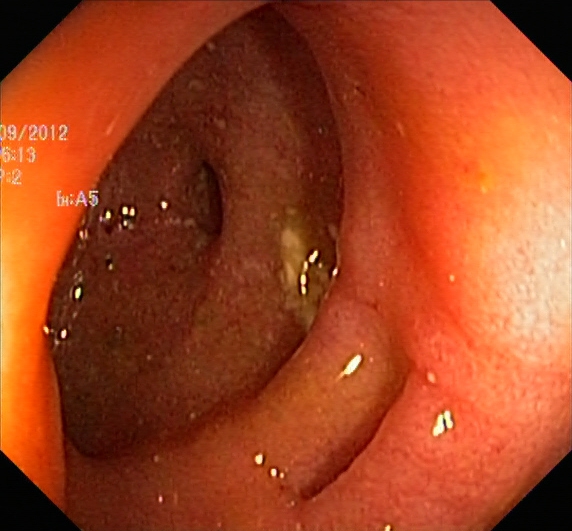Lower gastrointestinal endoscopy — ulcerative colitis, Mayo endoscopic subscore 1.